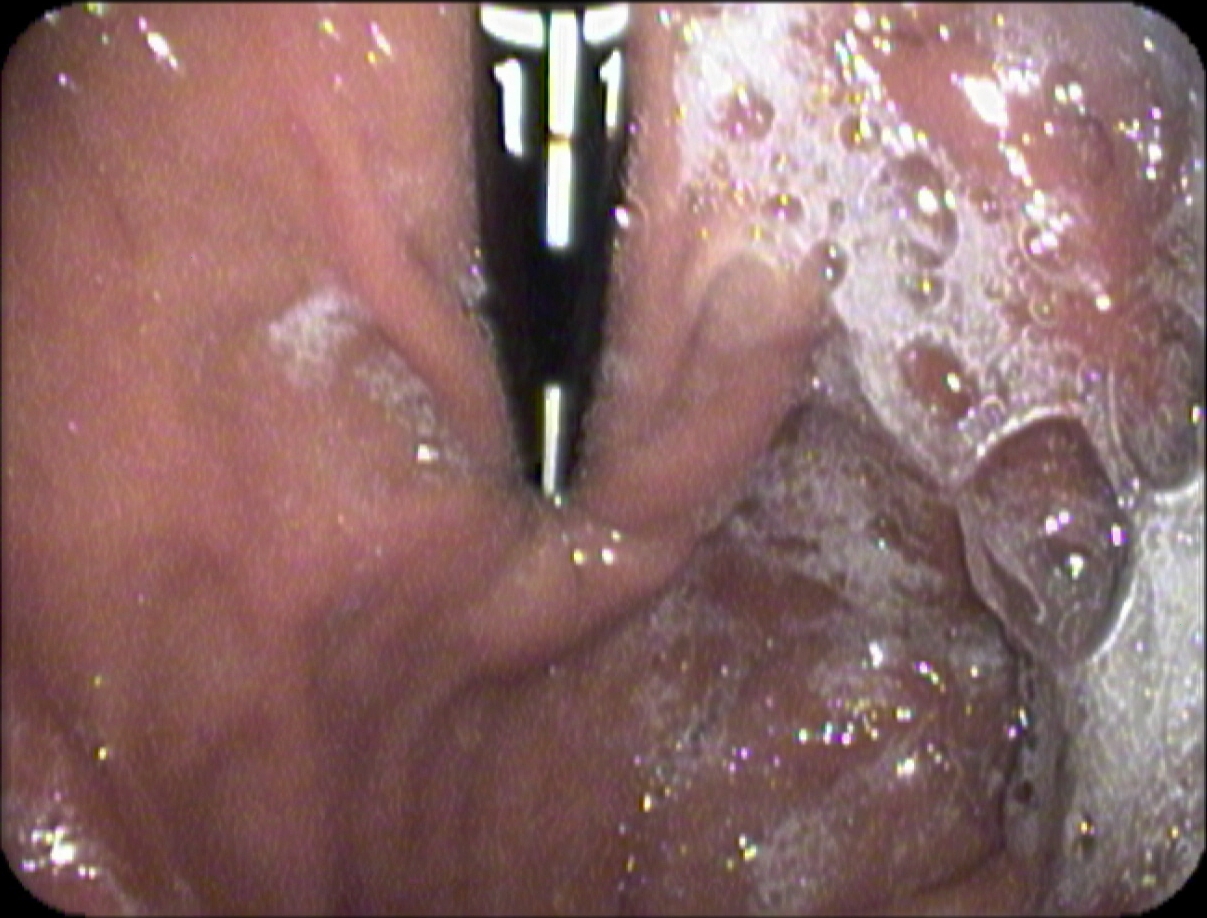Stomach in retroflexion.